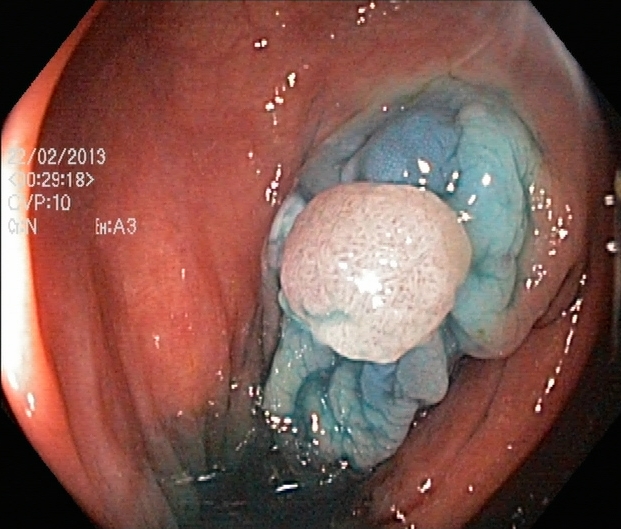Lower-GI endoscopy. Therapeutic intervention. Finding: dyed and lifted polyp (pre-resection).